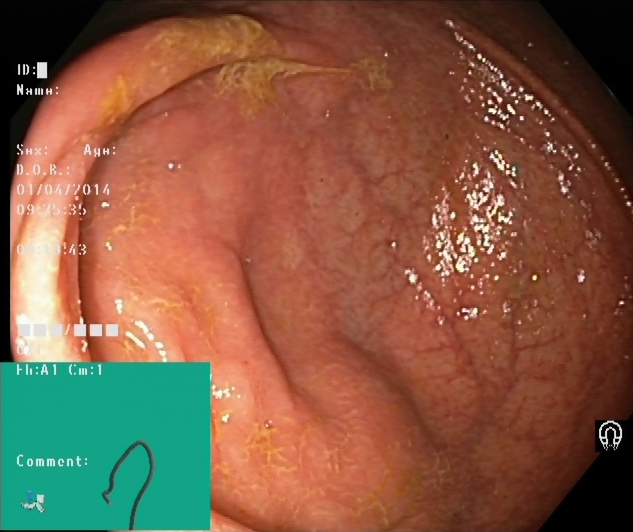Lower gastrointestinal endoscopy image showing cecum.